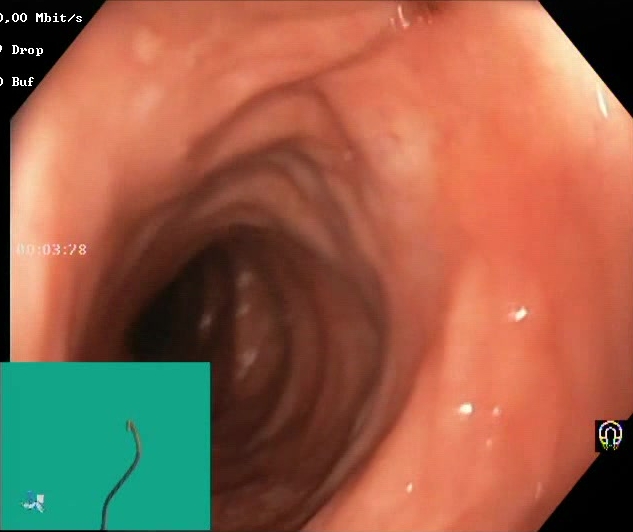BBPS score 2–3 (adequate preparation).